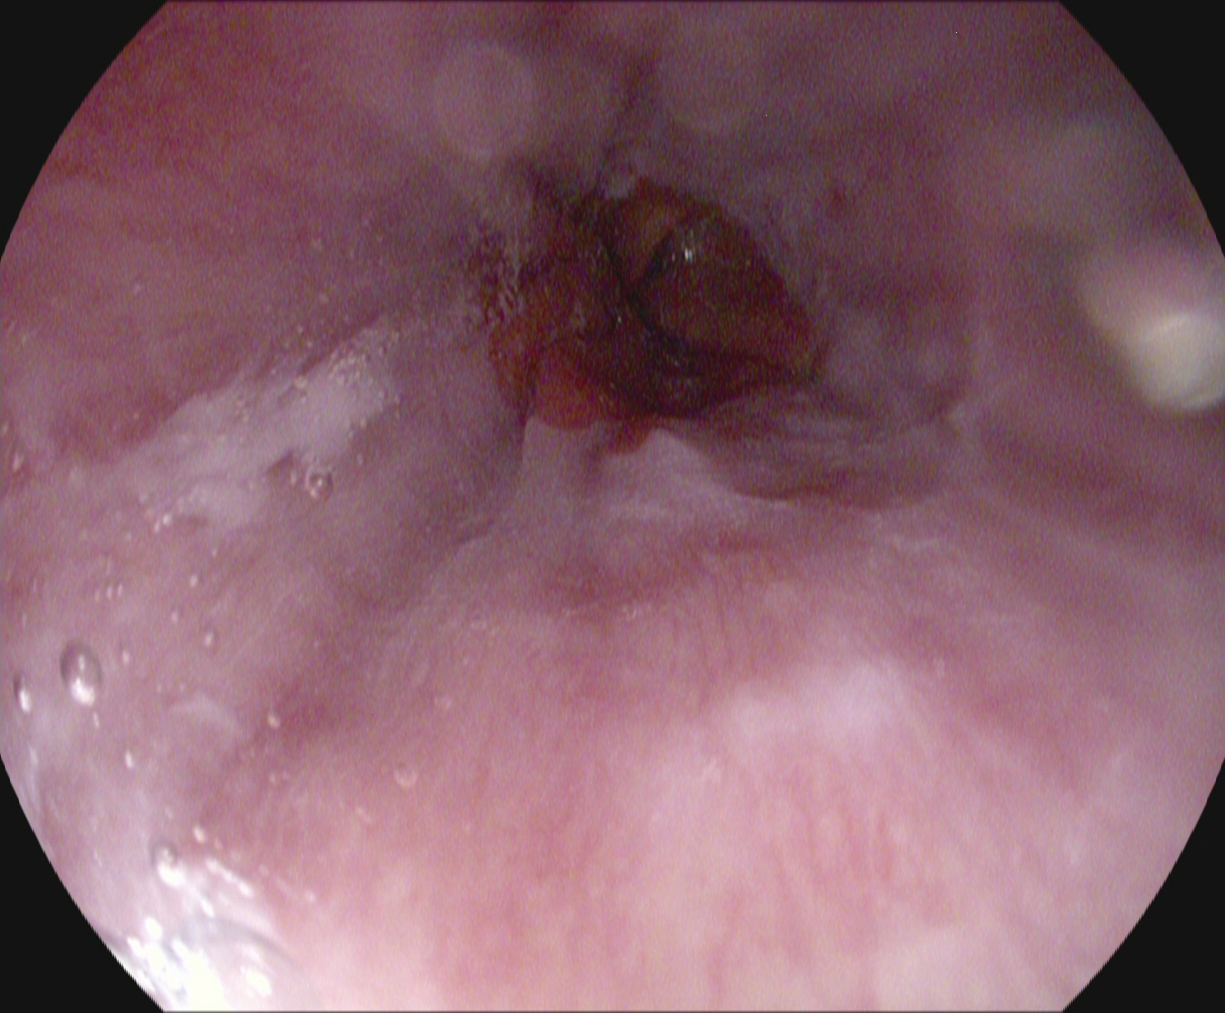modality: esophagogastroduodenoscopy; category: anatomical landmark; finding: Z-line (gastroesophageal junction)